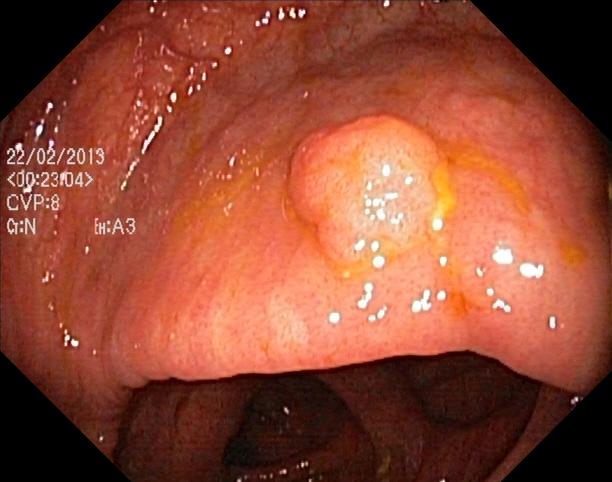This endoscopic image of the lower GI tract shows colorectal polyp(s).